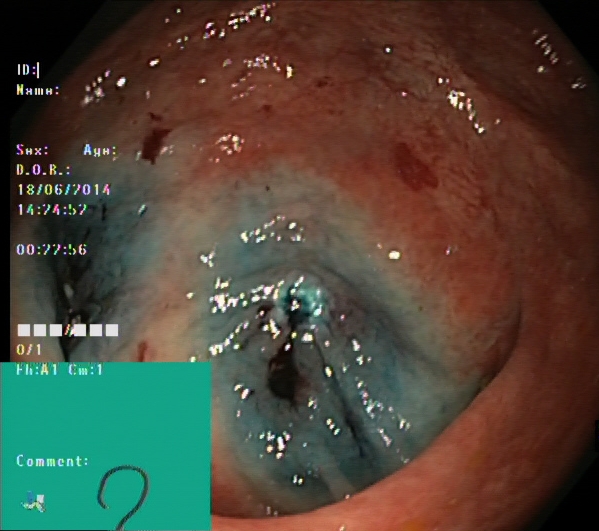Lower gastrointestinal endoscopy. Tract: lower GI tract. Therapeutic intervention. Finding: dyed resection margins (post-polypectomy).